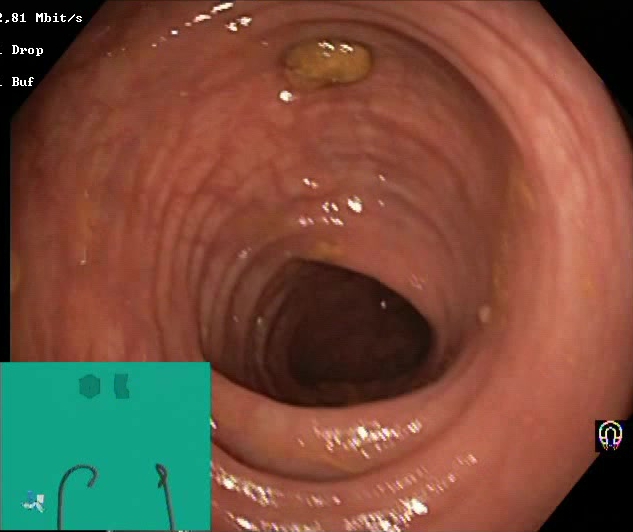modality: colonoscopy | tract: lower GI tract | finding: impacted stool